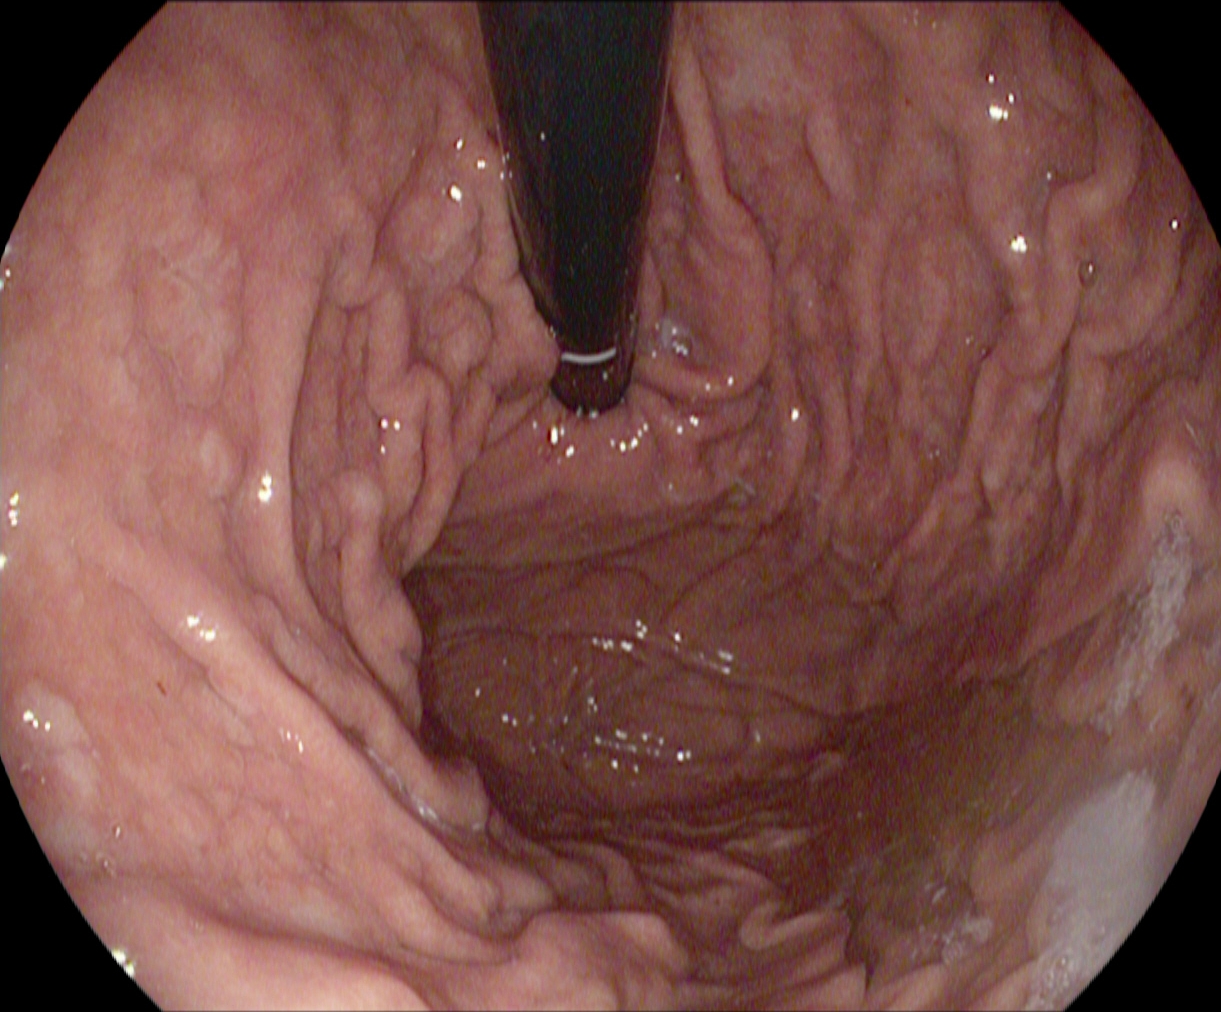{"modality": "gastroscopy", "tract": "upper GI tract", "finding": "stomach in retroflexion"}